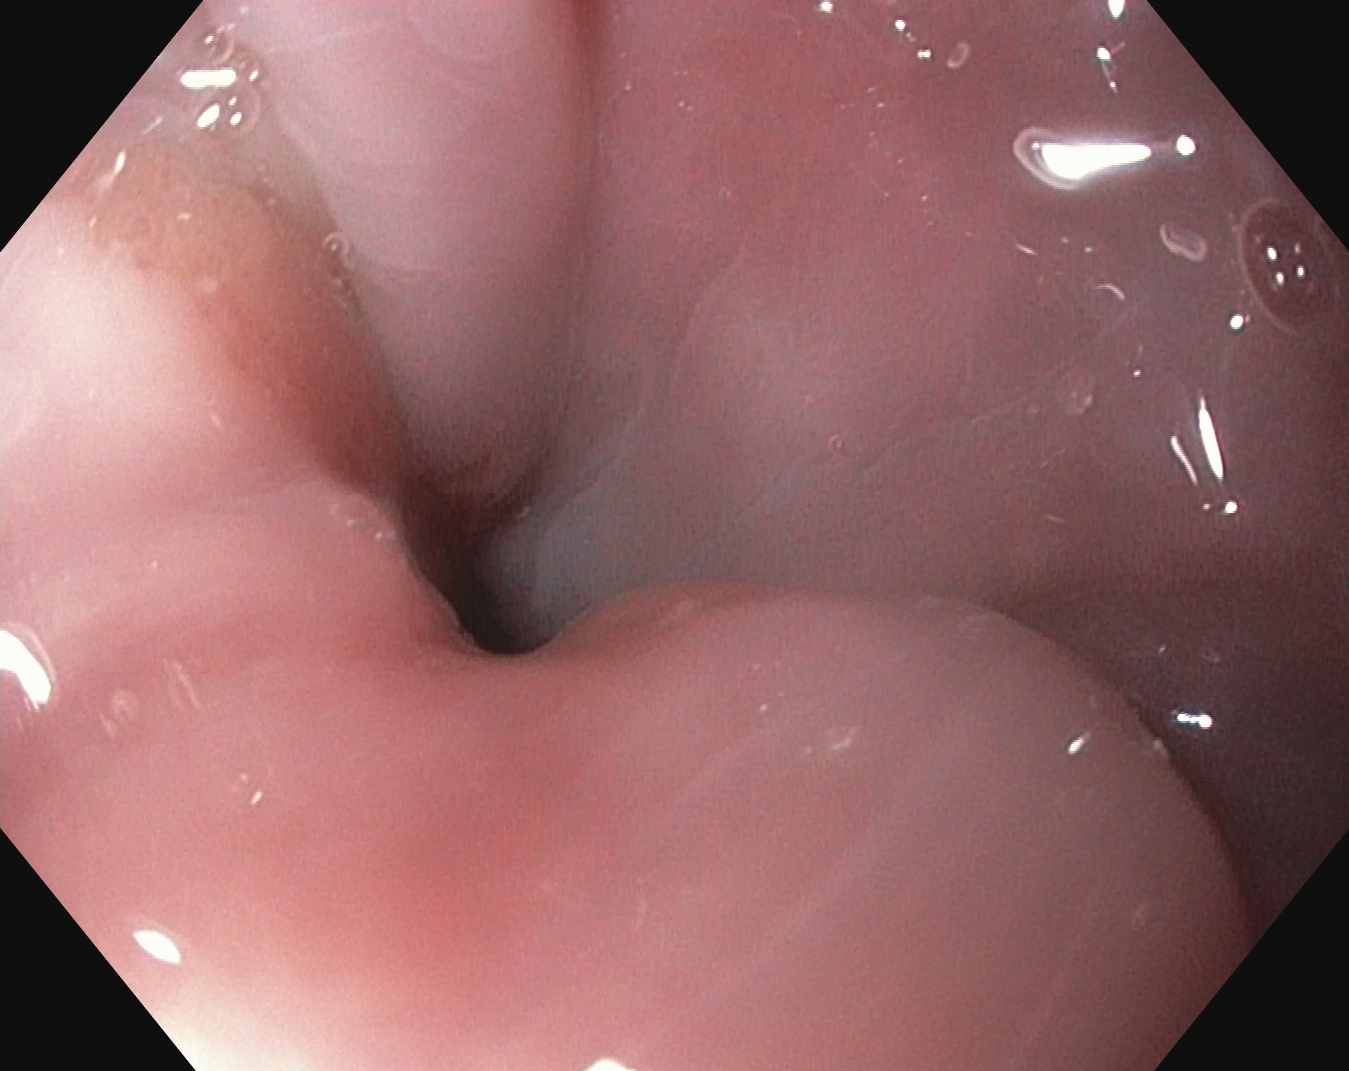This endoscopic image of the upper GI tract shows Z-line (gastroesophageal junction).